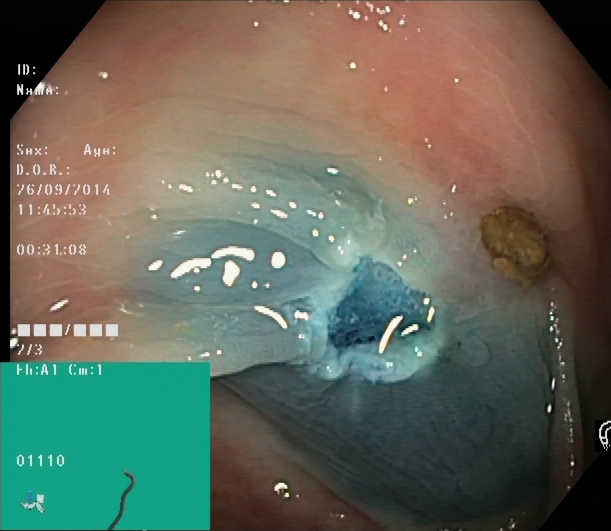modality: lower-GI endoscopy | tract: lower GI tract | category: therapeutic intervention | finding: dyed resection margins (post-polypectomy)